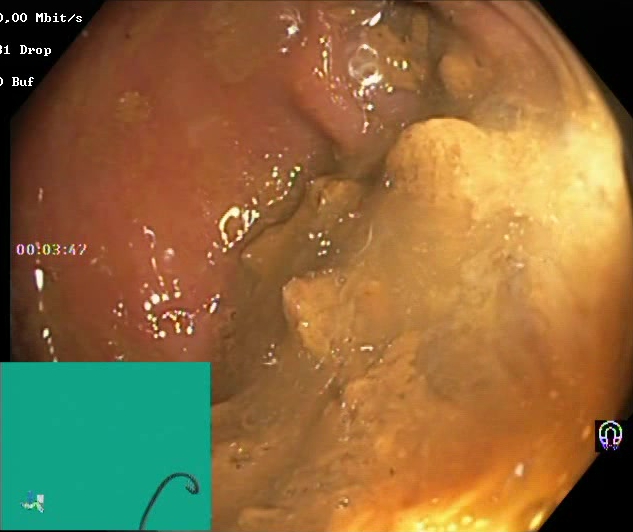Lower gastrointestinal endoscopy. Mucosal-view quality. Finding: Boston Bowel Preparation Scale score 0–1 (inadequate preparation).